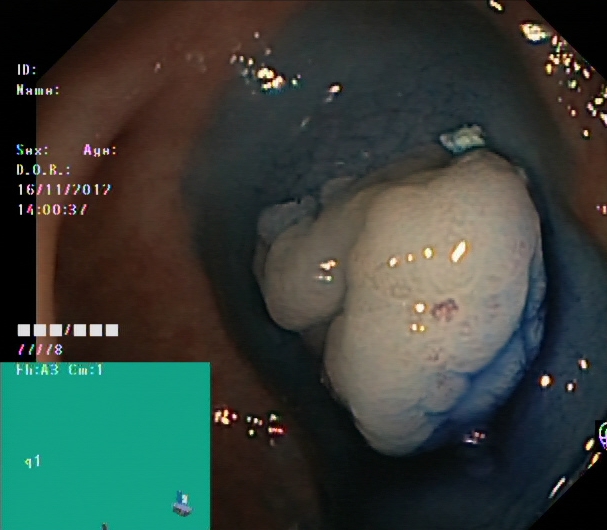Colonoscopy. Tract: lower GI tract. Therapeutic intervention. Finding: dyed and lifted polyp (pre-resection).